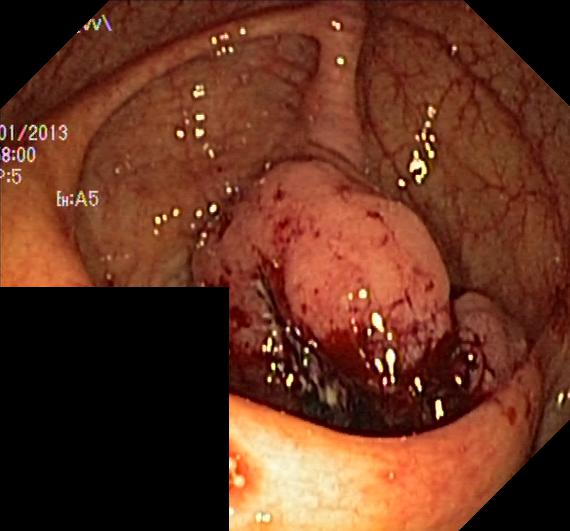modality: lower-GI endoscopy
tract: lower GI tract
finding: colorectal polyp(s)